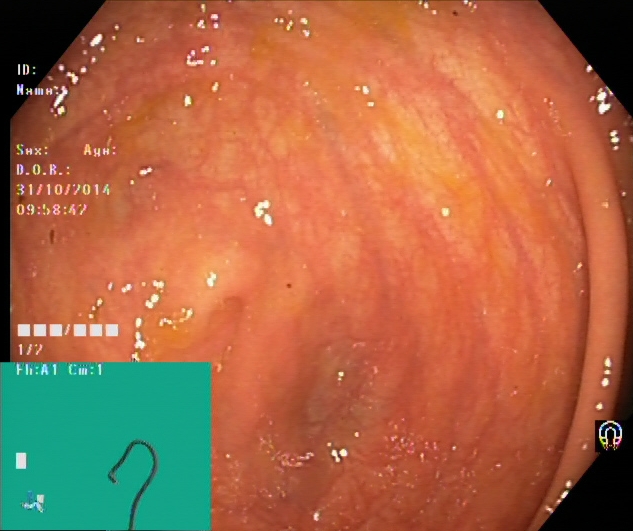modality: lower gastrointestinal endoscopy; finding: cecum